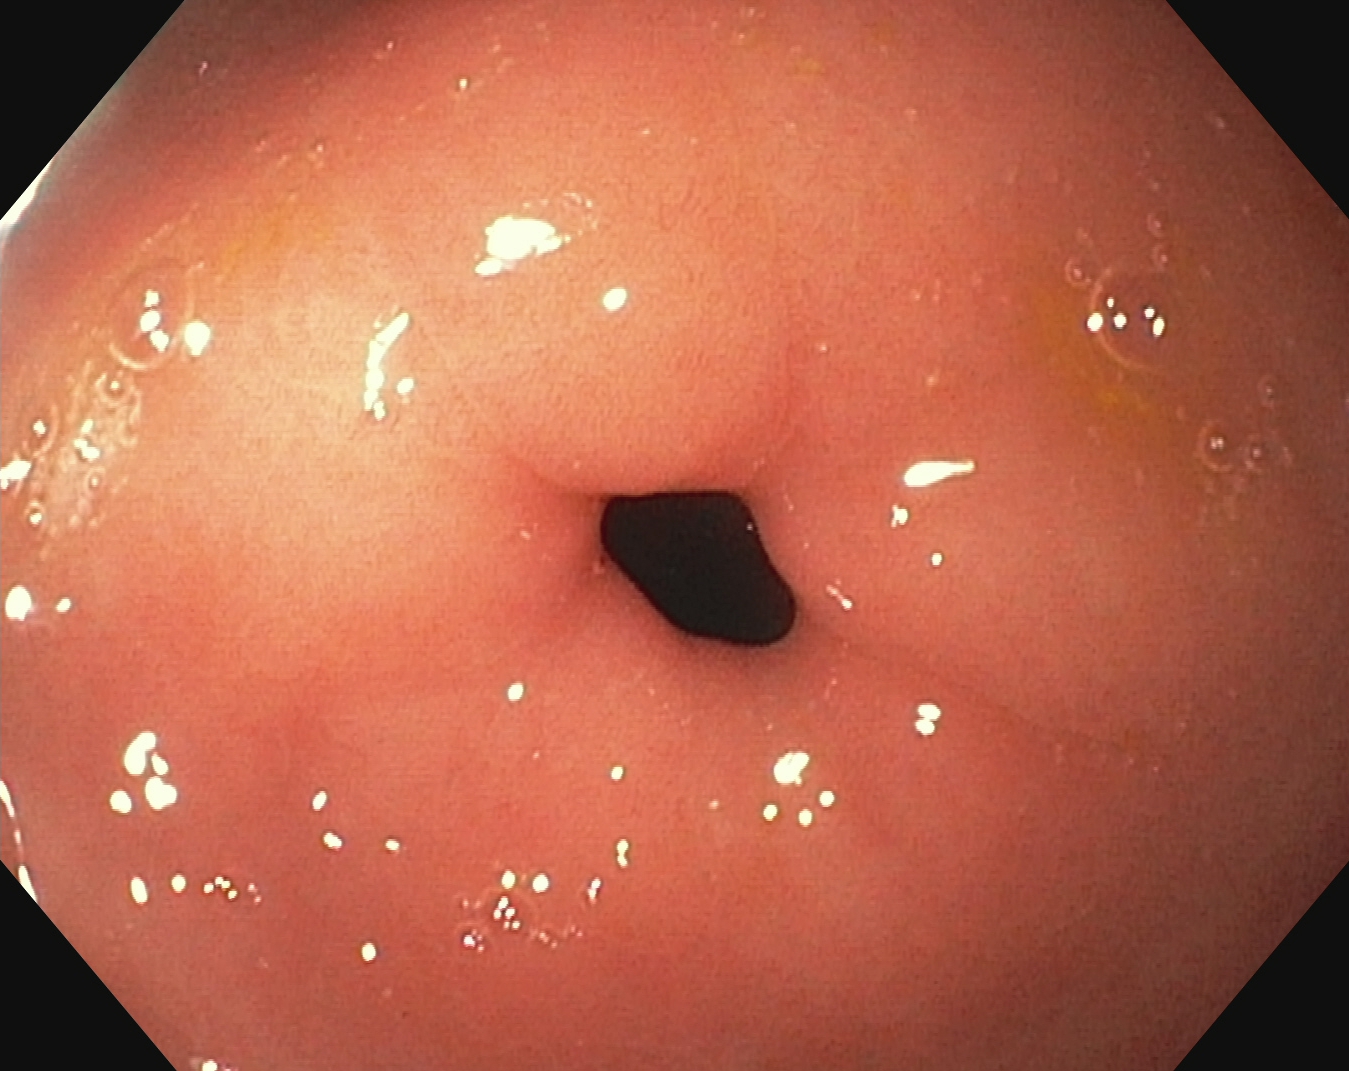pylorus.